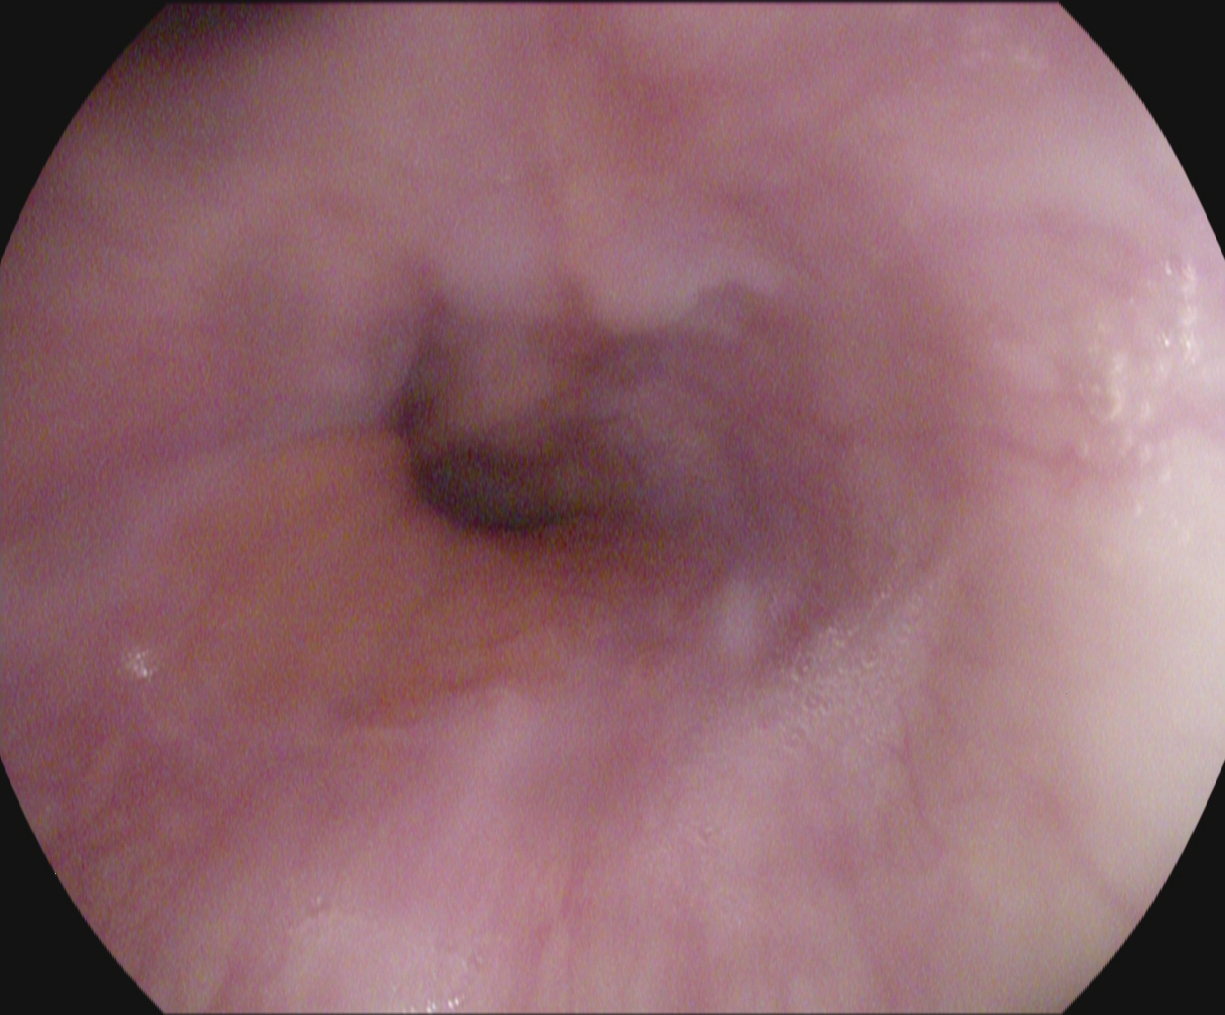Upper-GI endoscopy image of the upper GI tract showing Z-line (gastroesophageal junction).